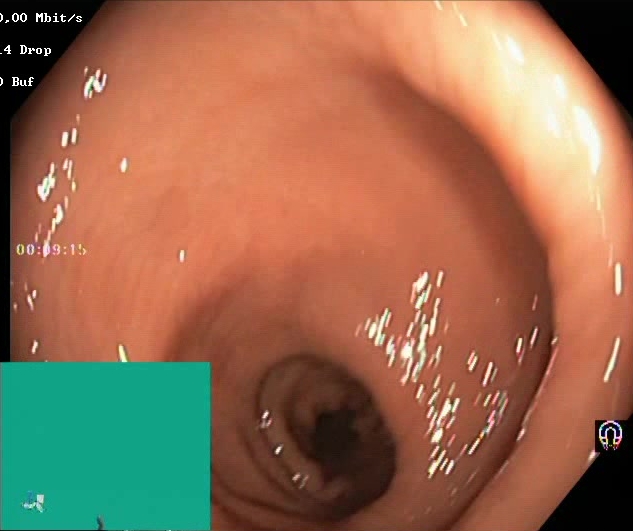GI endoscopy image showing Boston Bowel Preparation Scale score 2–3 (adequate preparation).